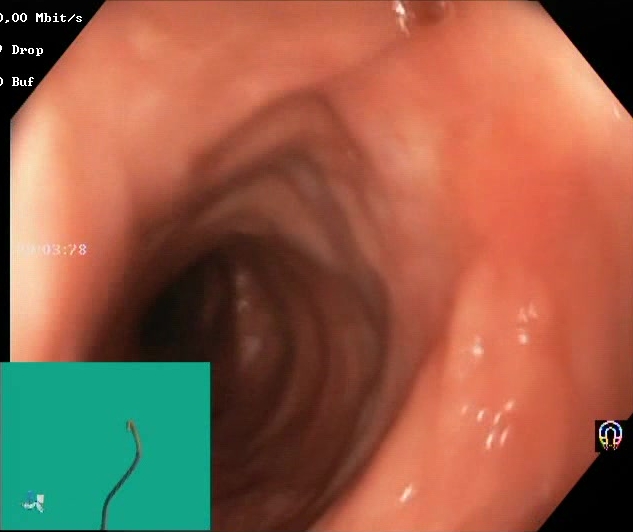Lower-GI endoscopy. Tract: lower GI tract. Finding: BBPS score 2–3 (adequate preparation).